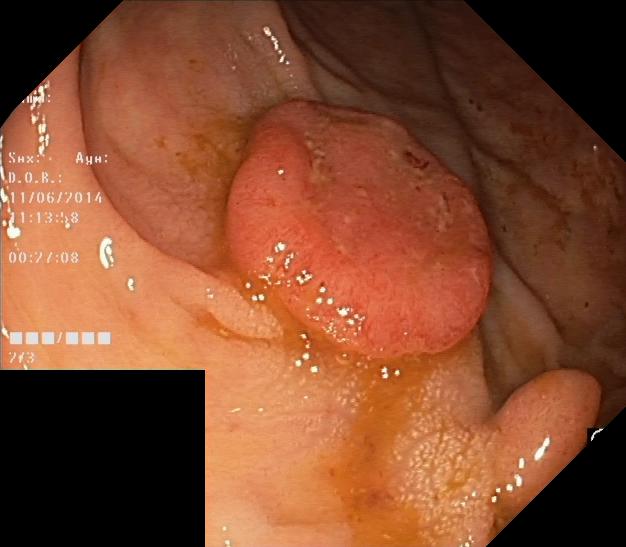PROCEDURE: Colonoscopy.
CATEGORY: Pathological finding.
FINDINGS: Colorectal polyp(s).